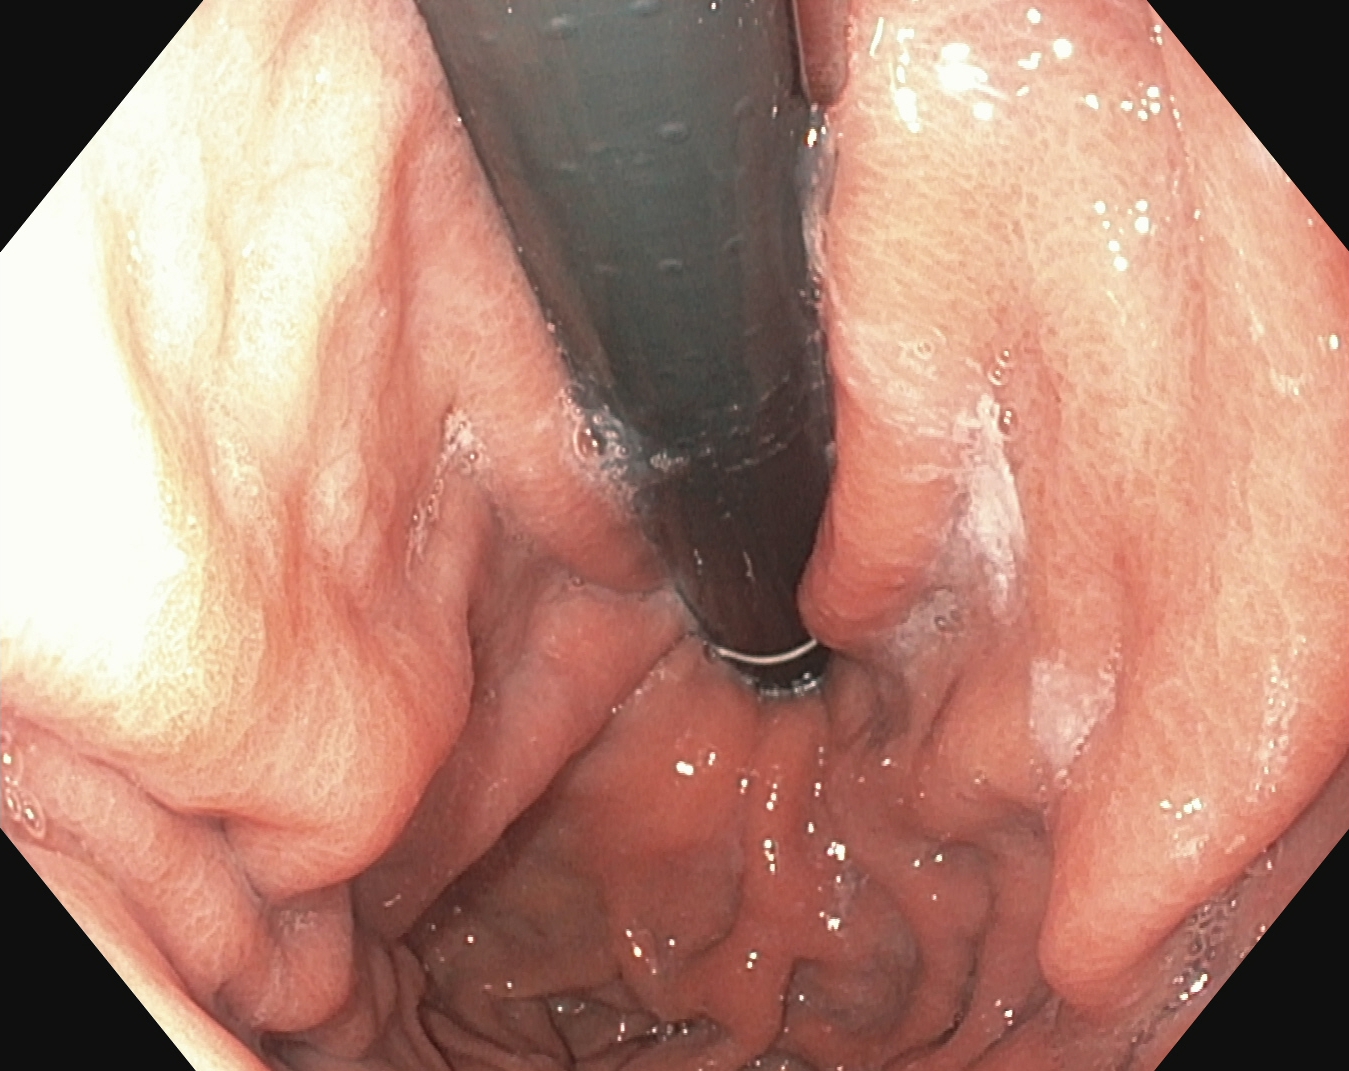{"modality": "esophagogastroduodenoscopy", "tract": "upper GI tract", "category": "anatomical landmark", "finding": "stomach in retroflexion"}